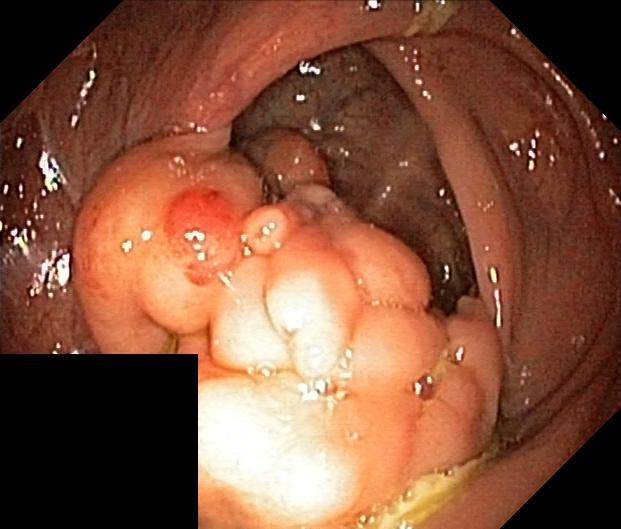{"modality": "lower gastrointestinal endoscopy", "finding": "colorectal polyp(s)"}